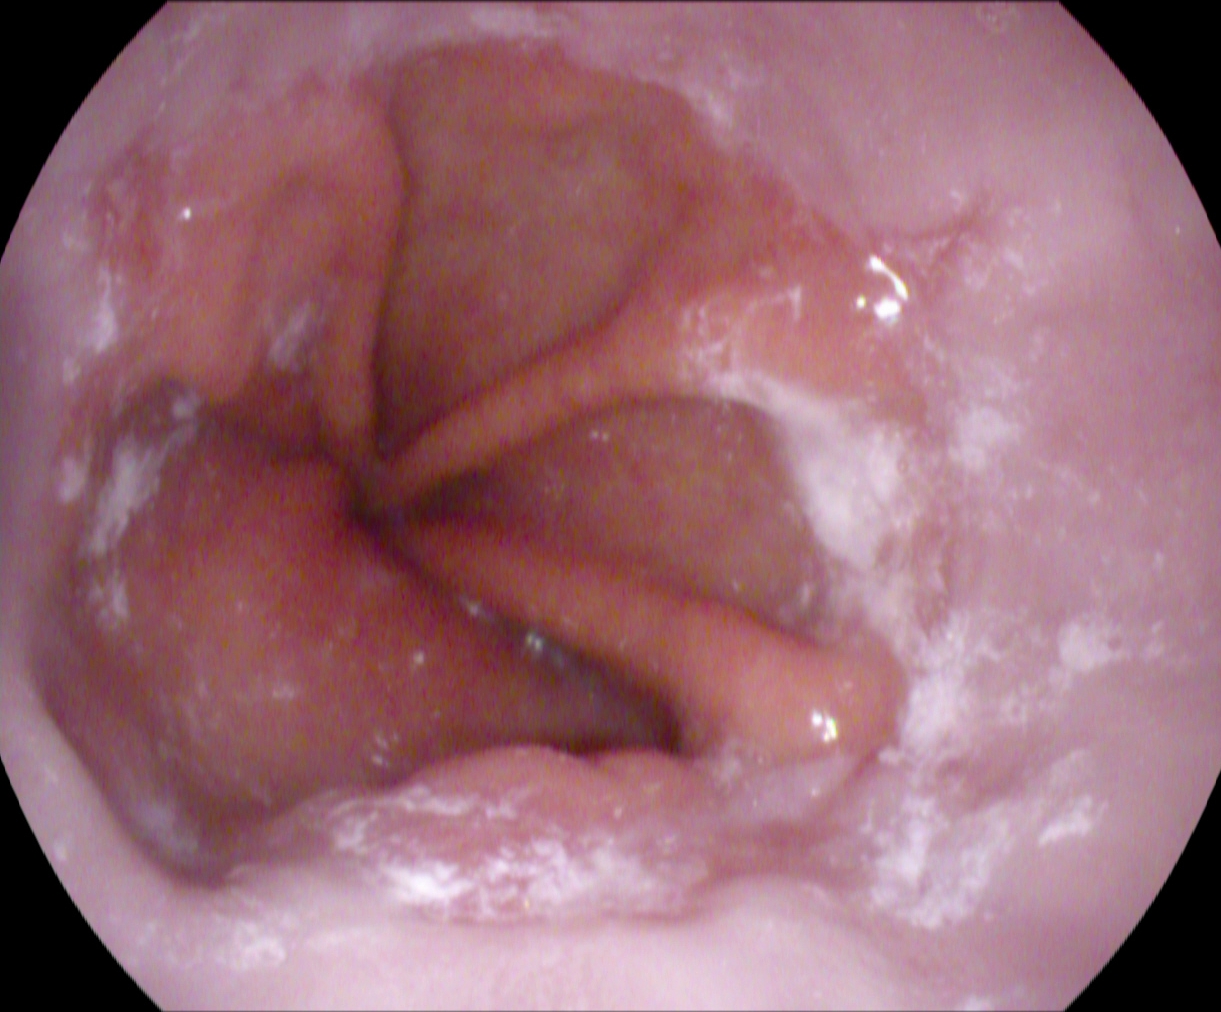This endoscopy frame shows reflux esophagitis, Los Angeles grade A.